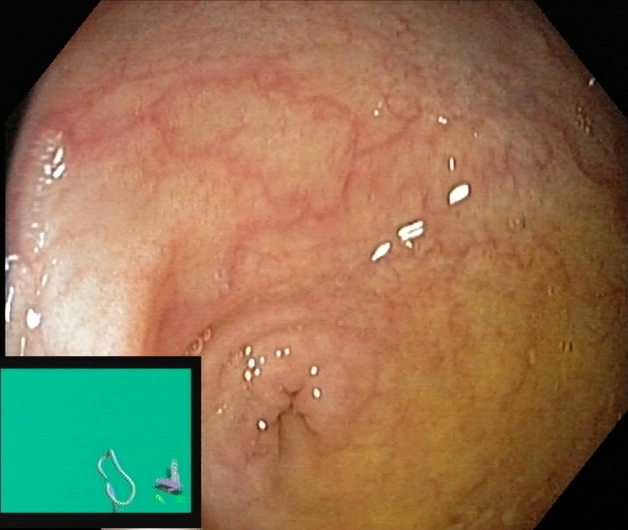PROCEDURE: Lower-GI endoscopy.
FINDINGS: Cecum.